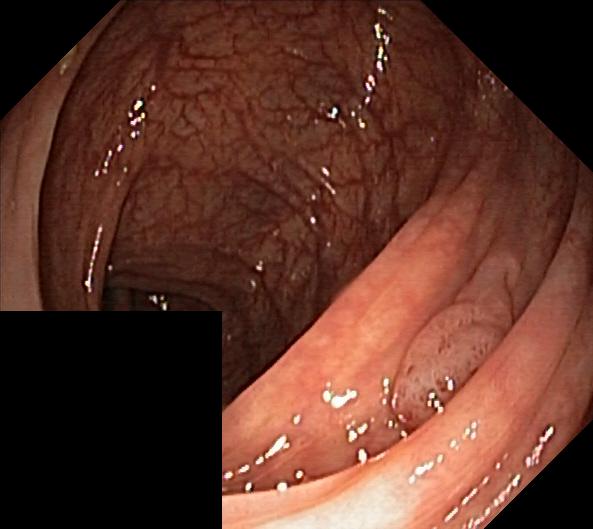Lower-GI endoscopy — colorectal polyp(s).